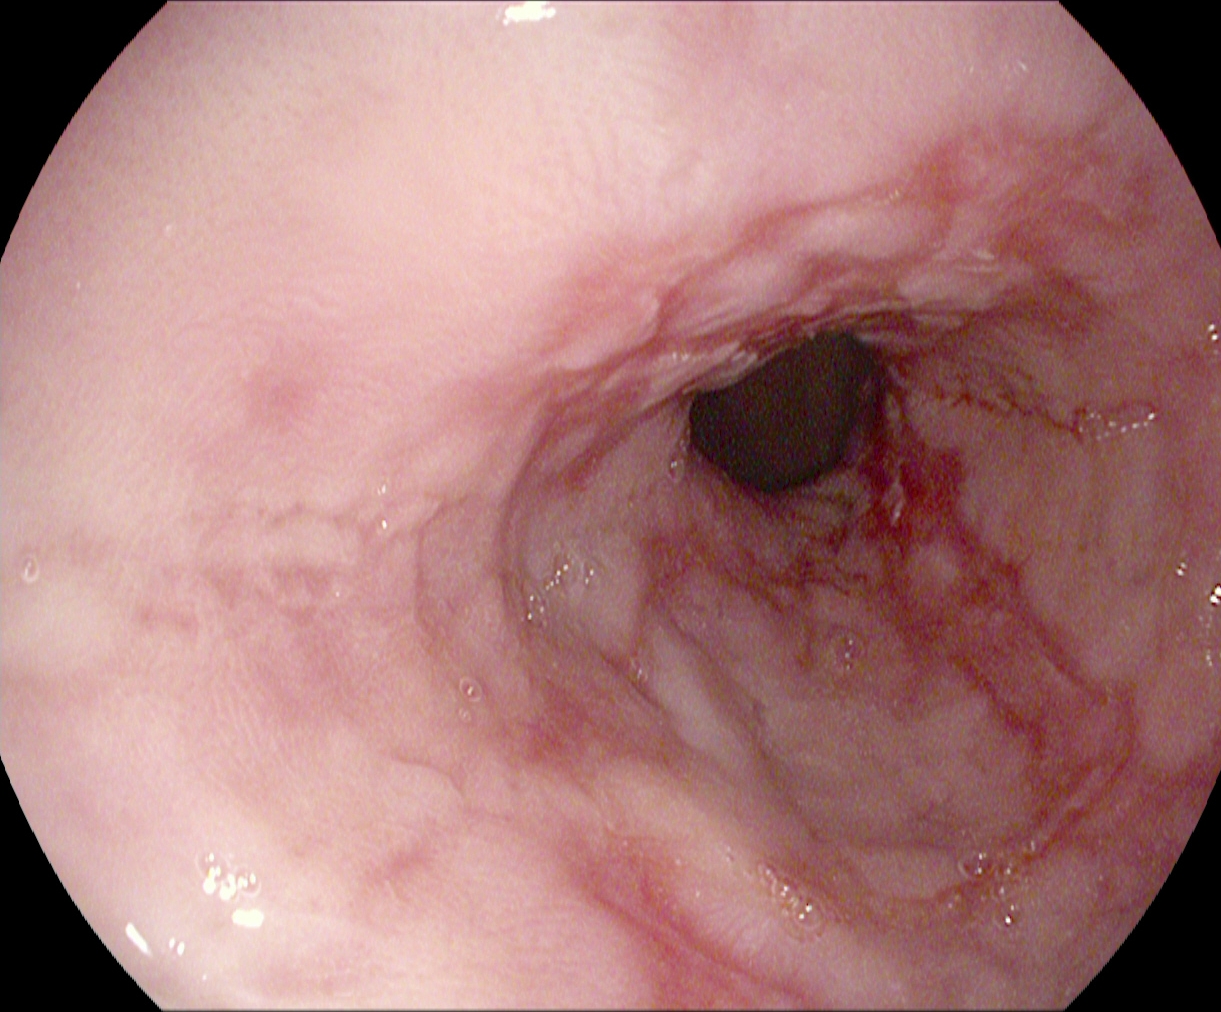{"modality": "gastroscopy", "finding": "reflux esophagitis, Los Angeles grade B\u2013D"}